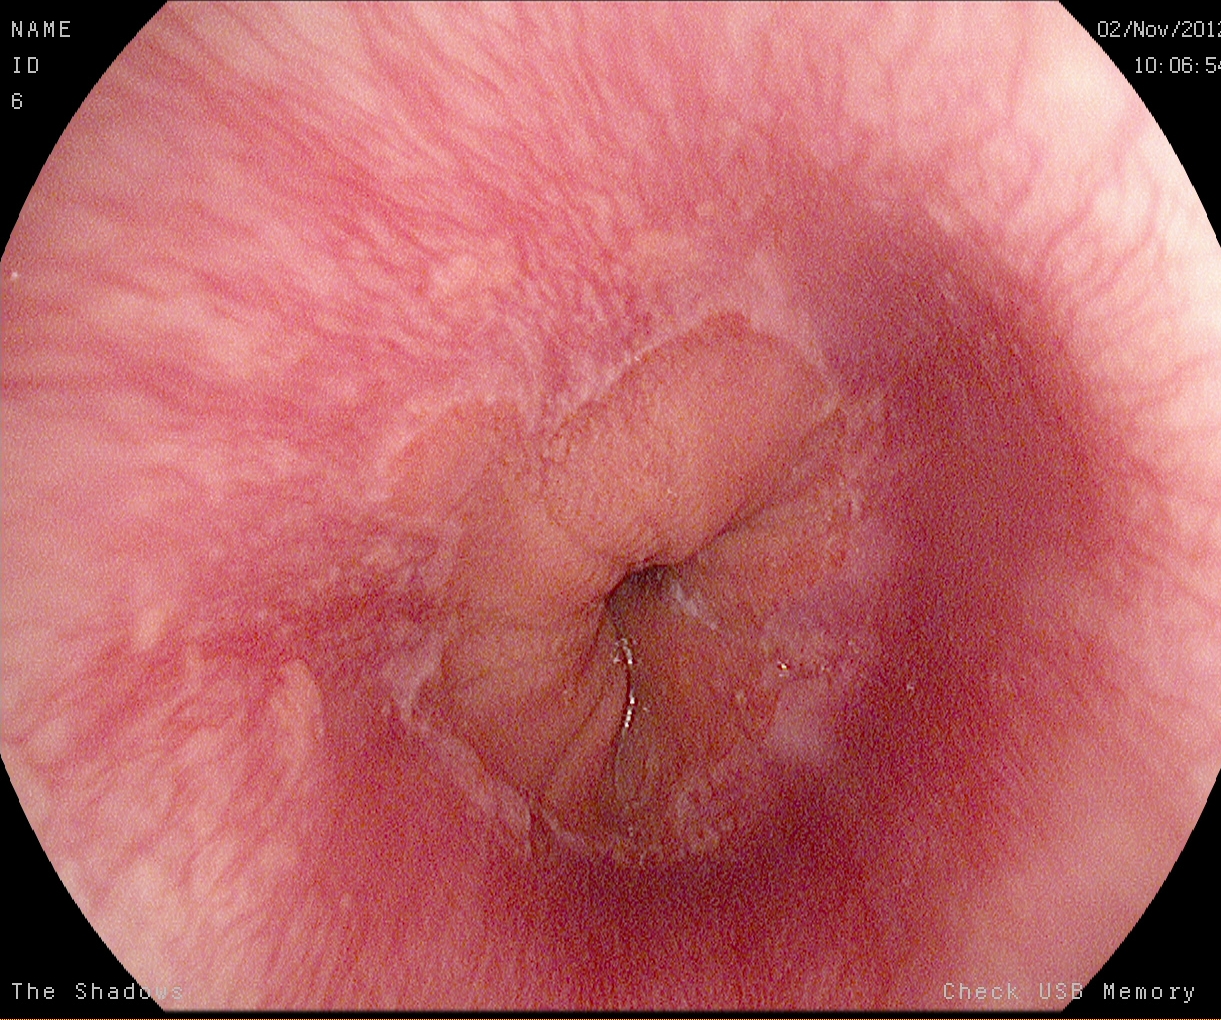PROCEDURE: Upper-GI endoscopy.
CATEGORY: Anatomical landmark.
FINDINGS: Z-line (gastroesophageal junction).